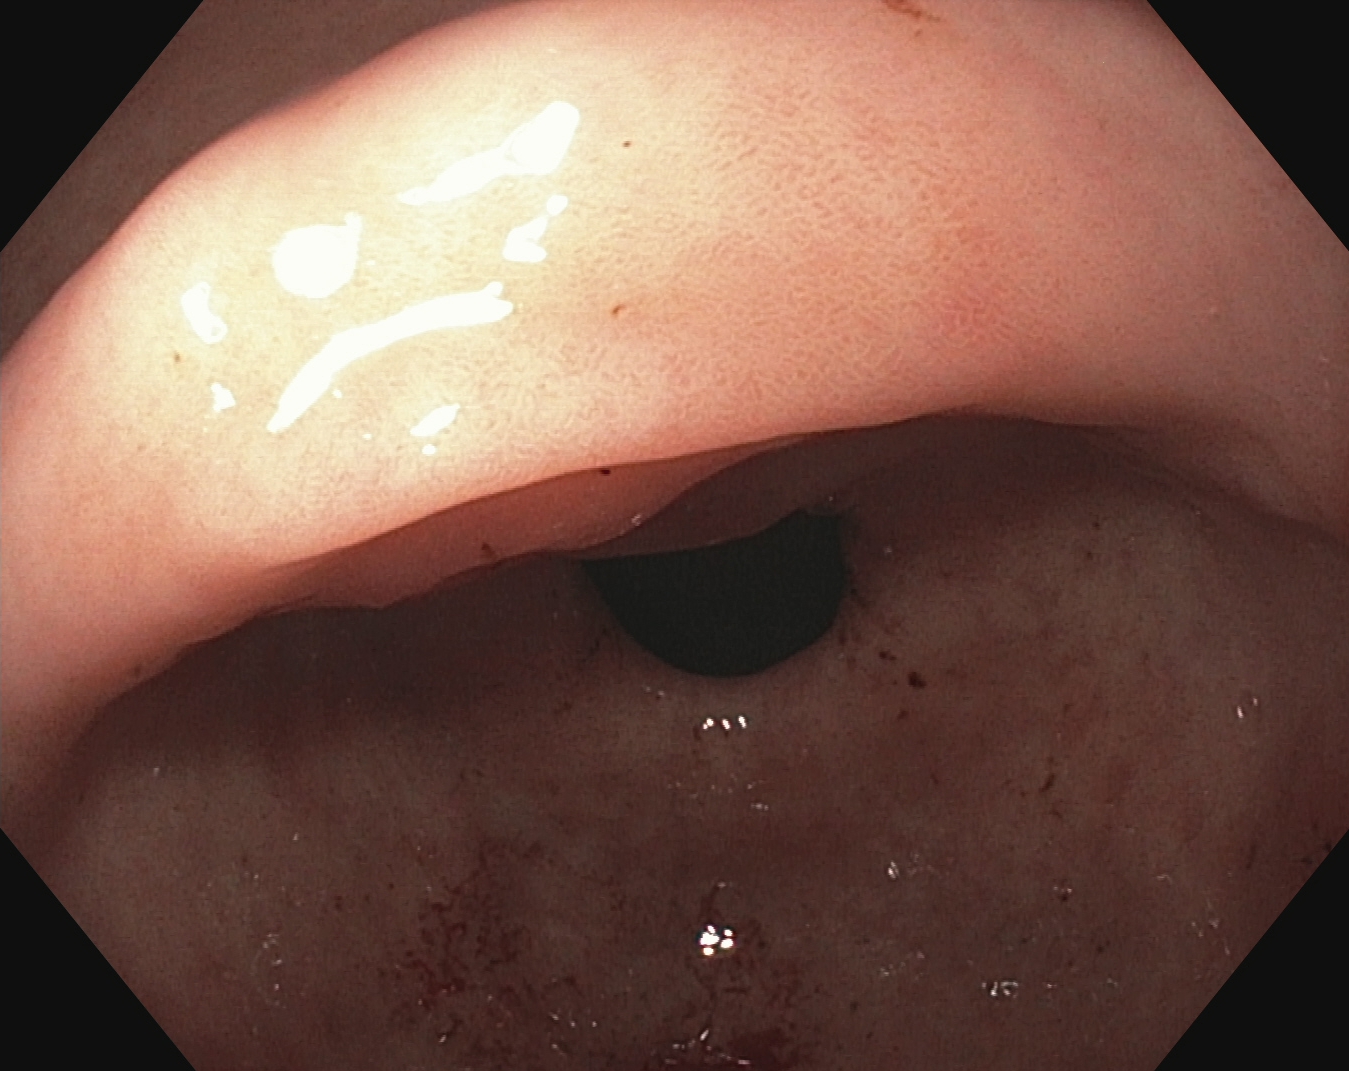Endoscopic frame of the upper GI tract showing pylorus.